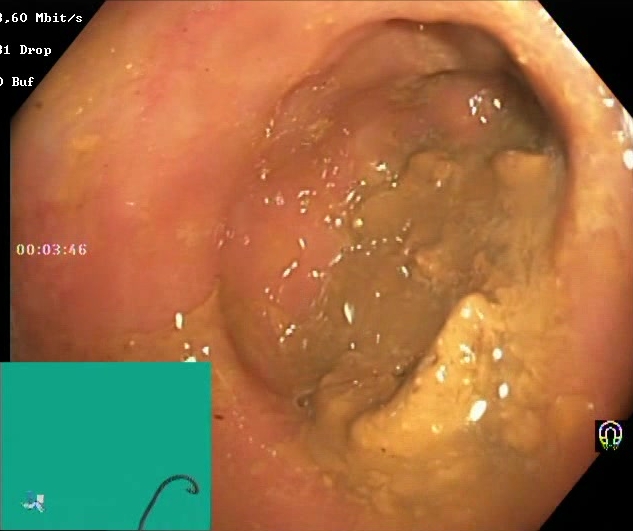Colonoscopy. Tract: lower GI tract. Mucosal-view quality. Finding: Boston Bowel Preparation Scale score 0–1 (inadequate preparation).